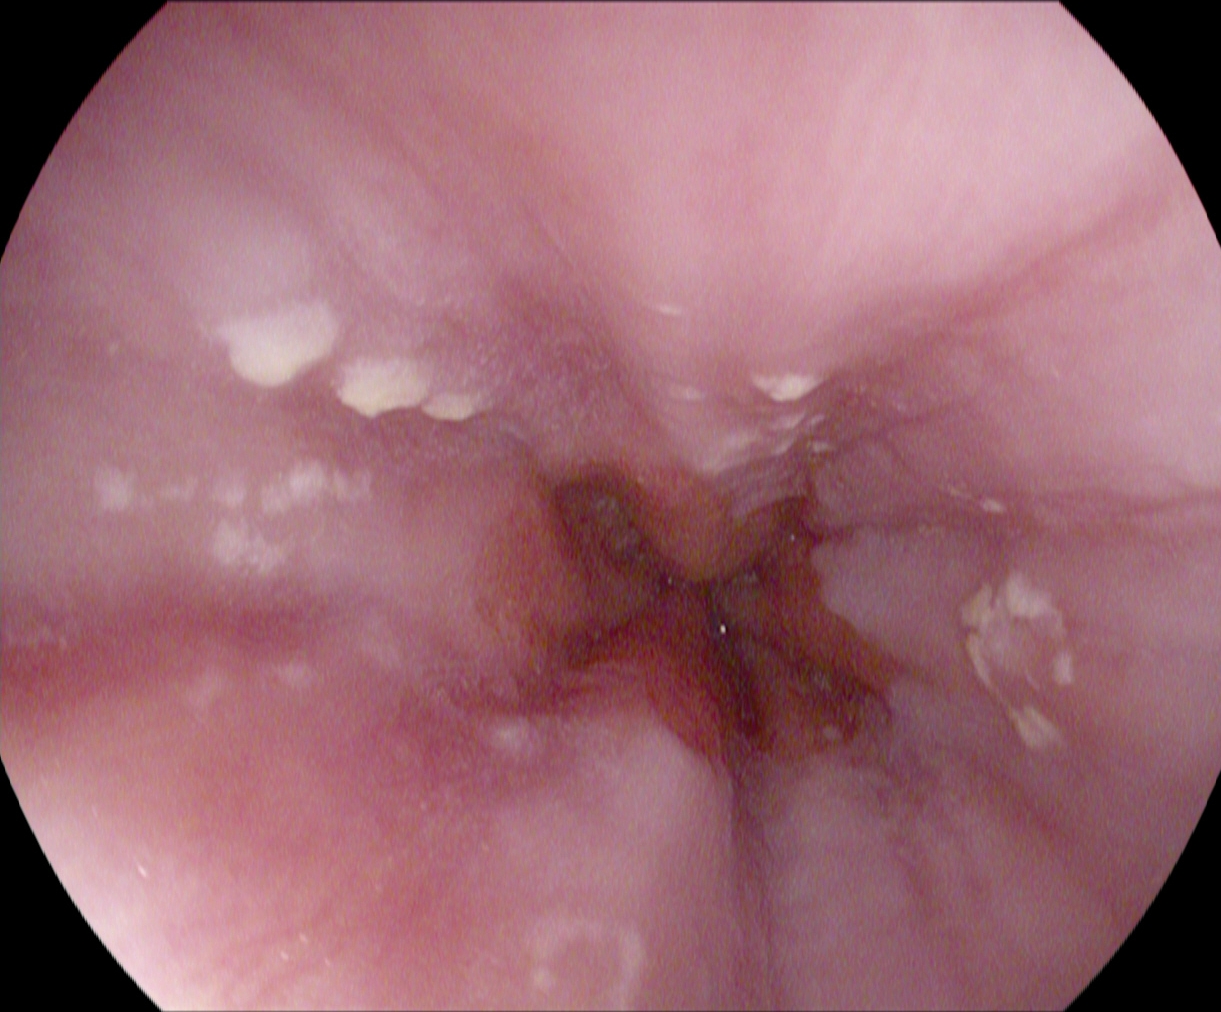Endoscopic image of the upper GI tract showing Z-line (gastroesophageal junction).